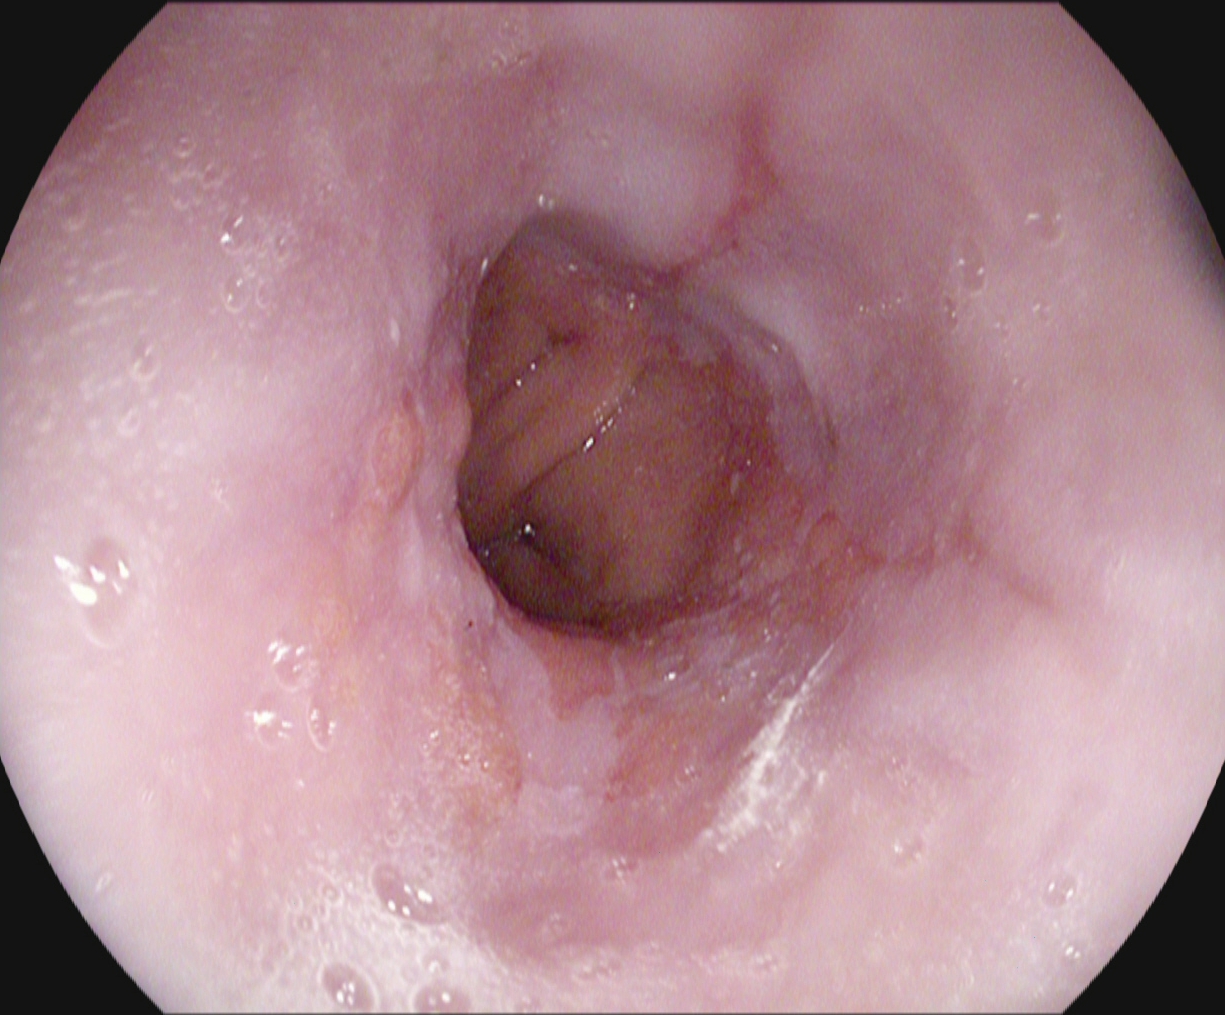This endoscopic image of the upper GI tract shows reflux esophagitis, Los Angeles grade B–D.